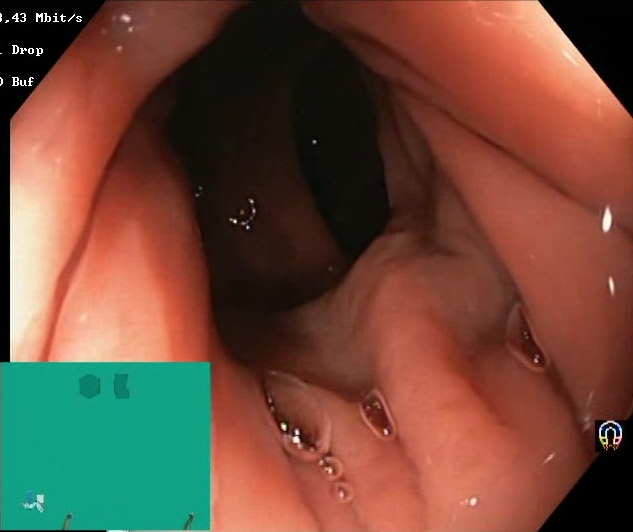Lower-GI endoscopy image showing BBPS score 2–3 (adequate preparation).